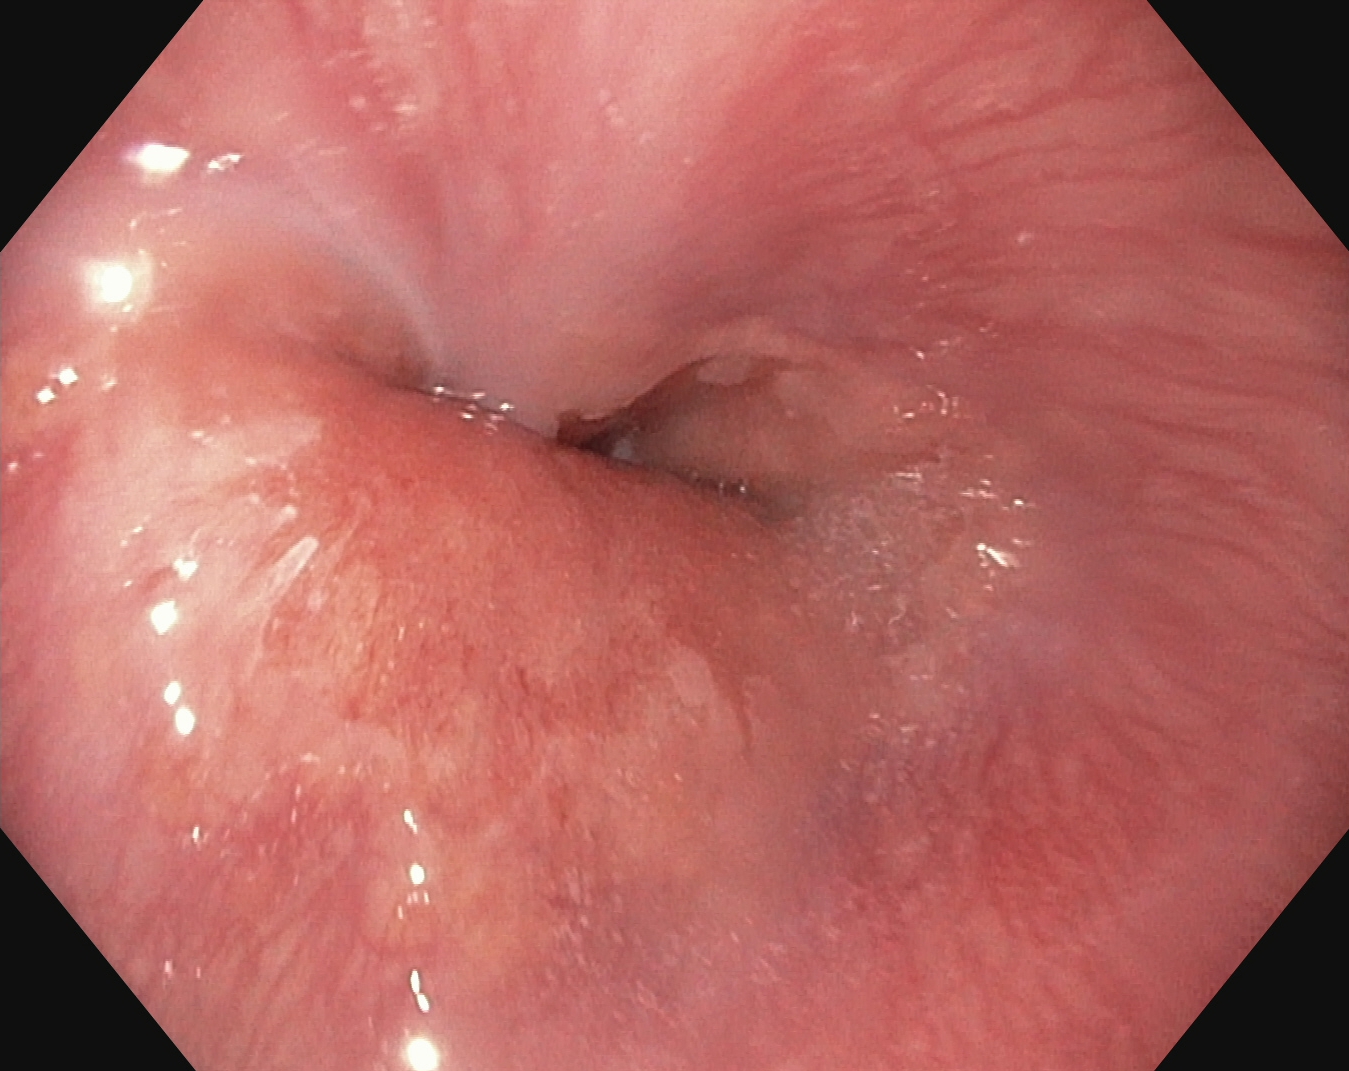{"modality": "esophagogastroduodenoscopy", "finding": "Z-line (gastroesophageal junction)"}